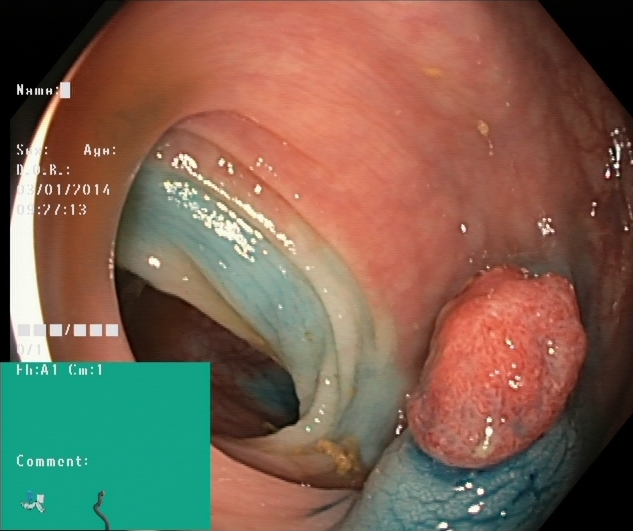Dyed and lifted polyp (pre-resection).